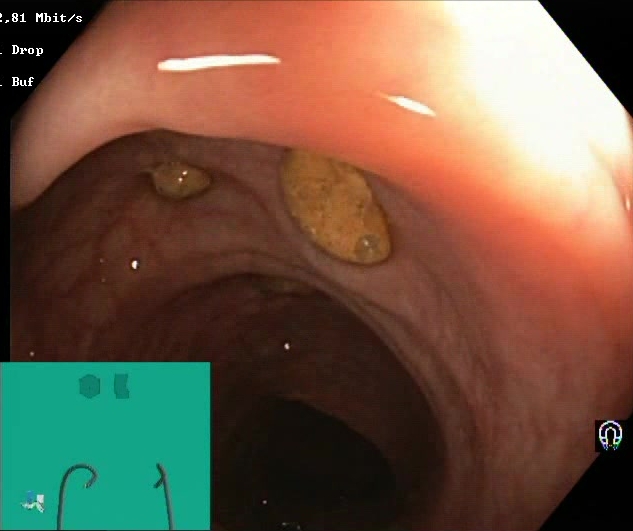{"modality": "lower gastrointestinal endoscopy", "tract": "lower GI tract", "finding": "Boston Bowel Preparation Scale score 2\u20133 (adequate preparation)"}